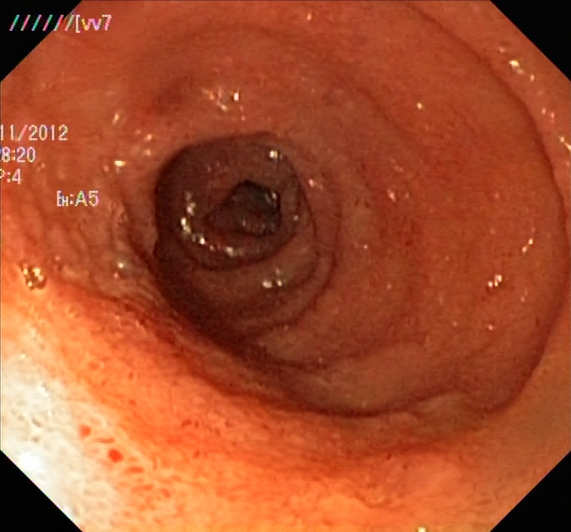UC, Mayo endoscopic subscore 2.